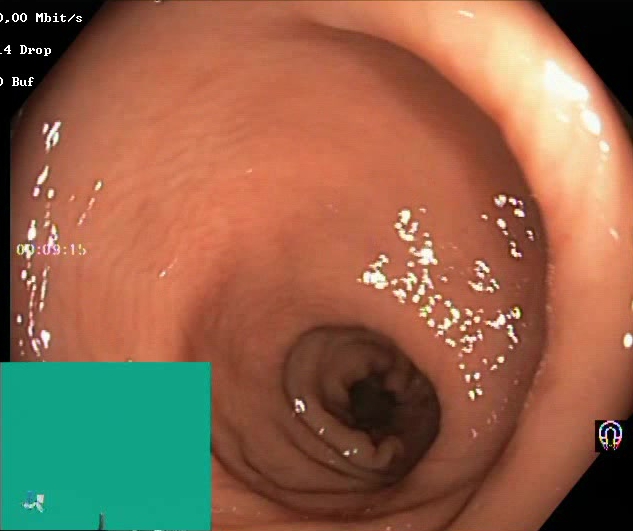modality: colonoscopy
tract: lower GI tract
category: mucosal-view quality
finding: BBPS score 2–3 (adequate preparation)